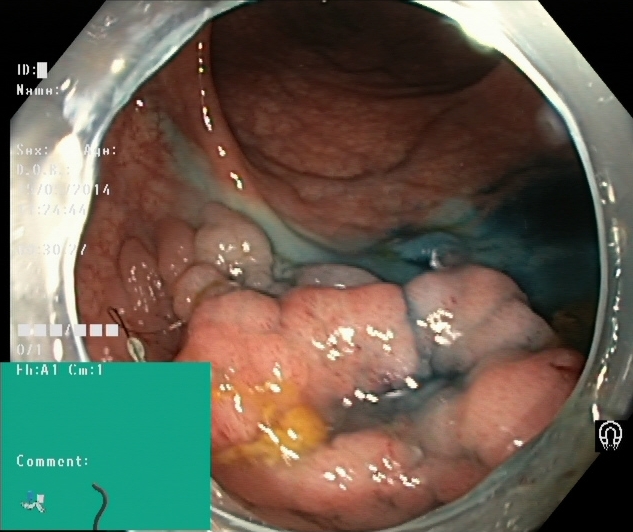Colonoscopy. Finding: dyed and lifted polyp (pre-resection).